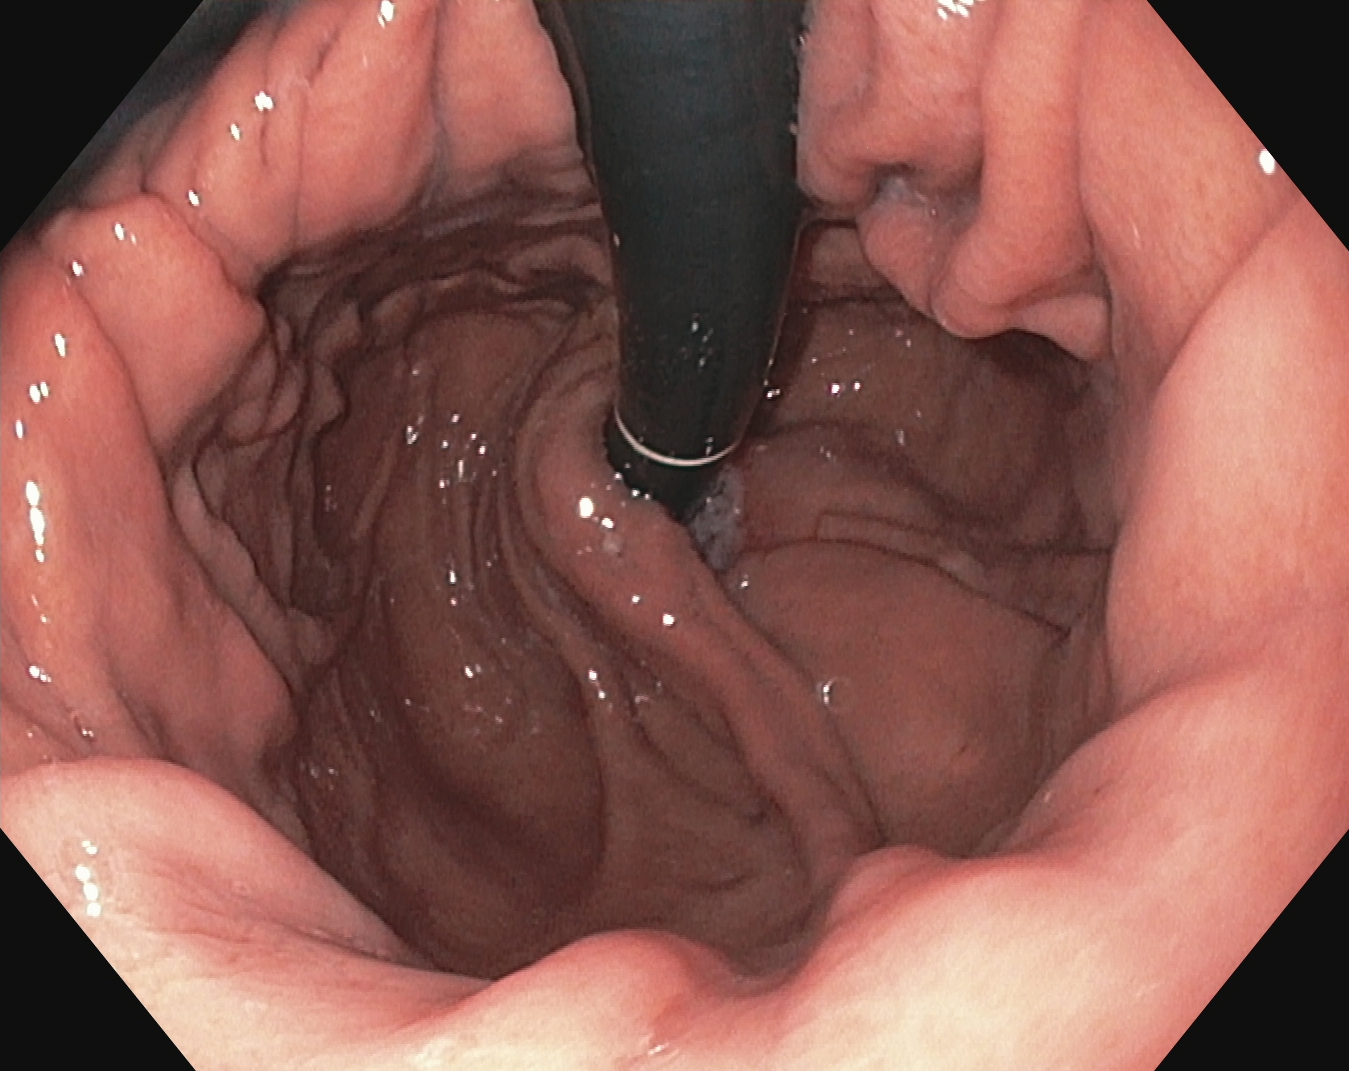This endoscopic image of the upper GI tract shows stomach in retroflexion.